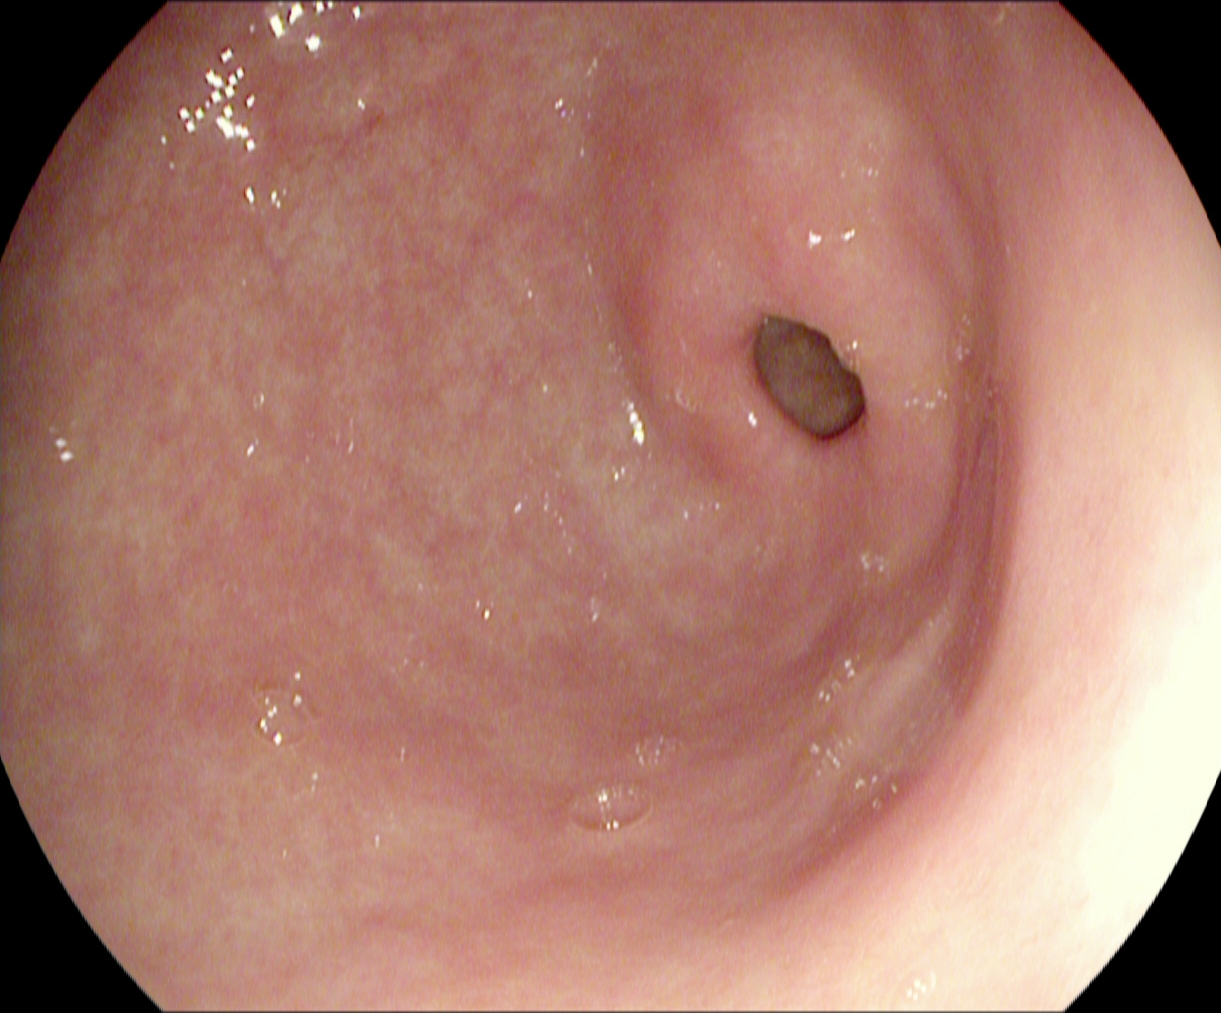Upper-GI endoscopy — pylorus.